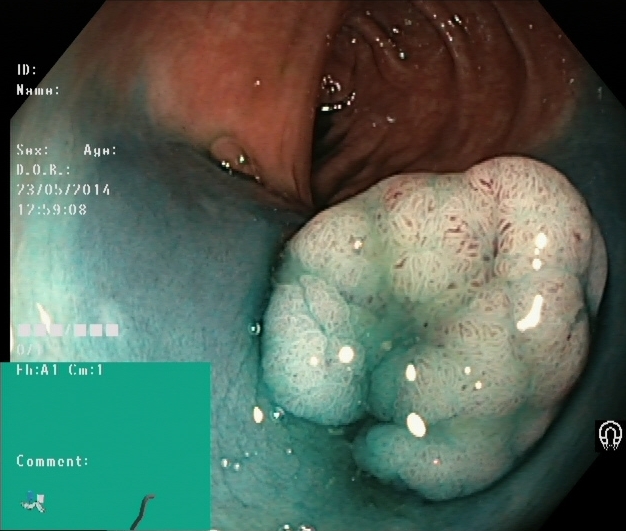This endoscopy frame of the lower GI tract shows dyed and lifted polyp (pre-resection).